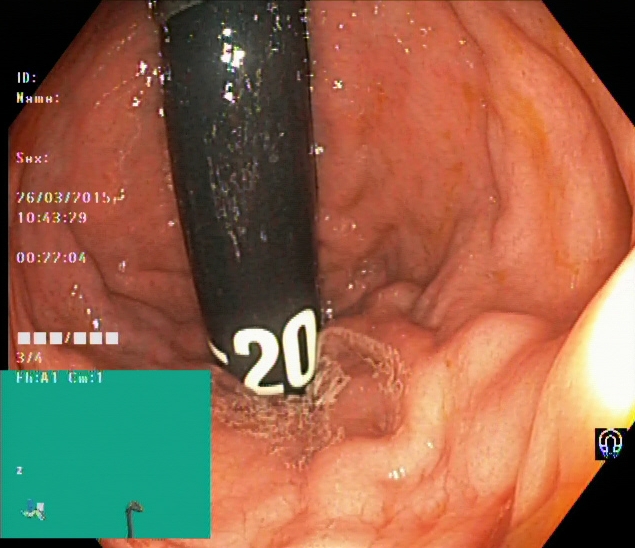modality: lower-GI endoscopy; category: anatomical landmark; finding: rectum in retroflexion